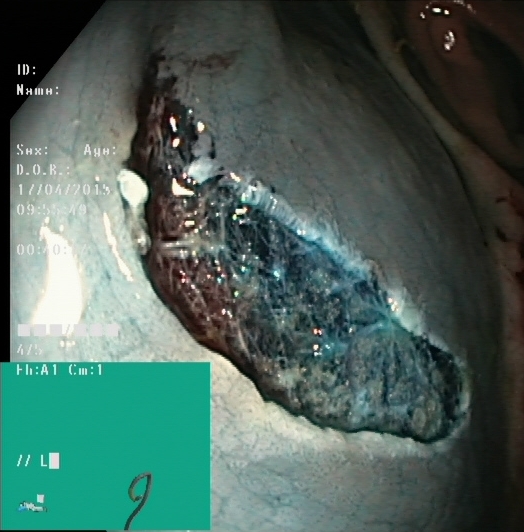{"modality": "lower gastrointestinal endoscopy", "finding": "dyed resection margins (post-polypectomy)"}